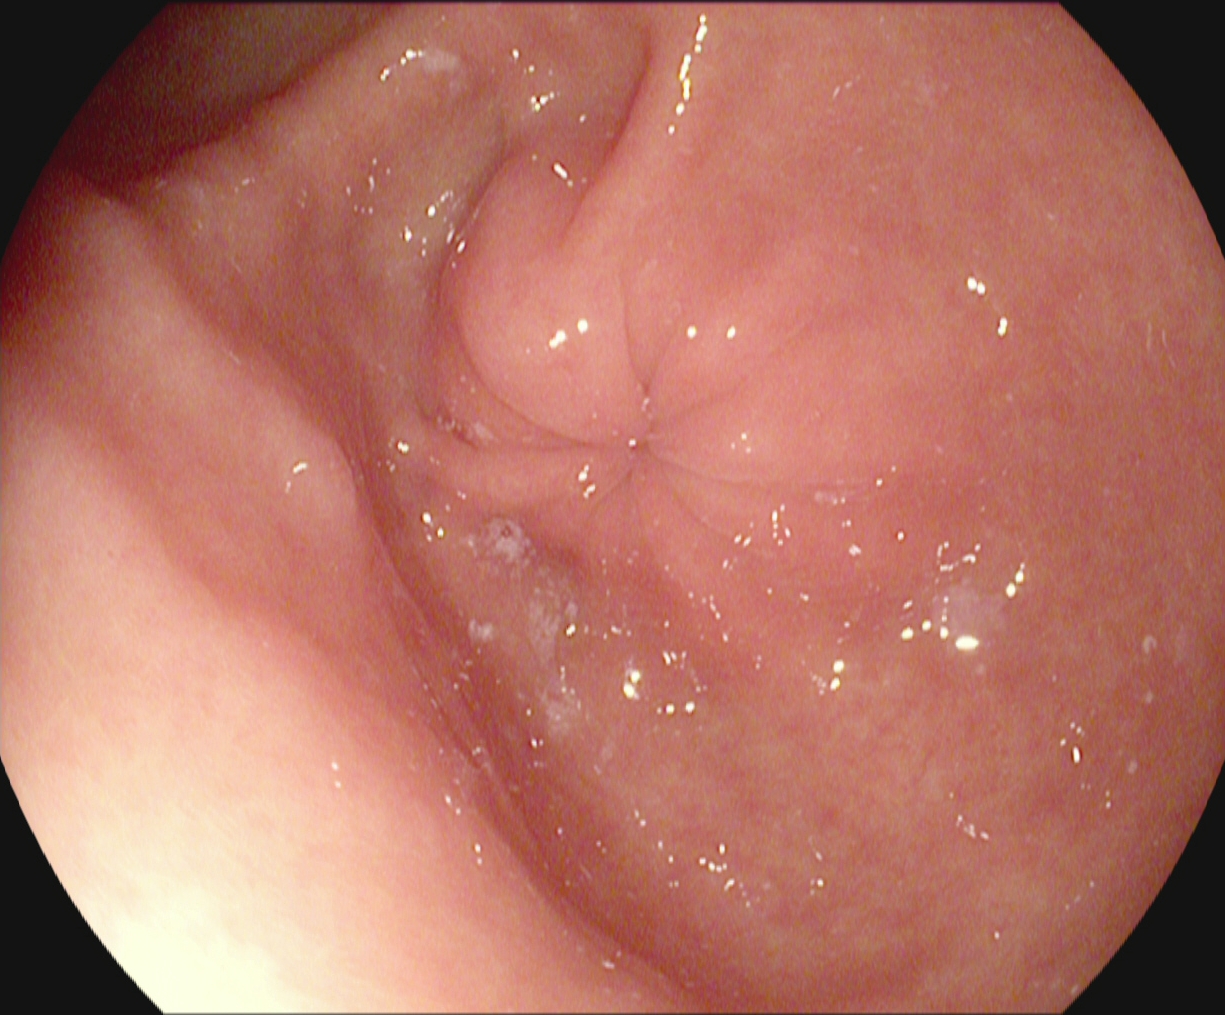PROCEDURE: Upper-GI endoscopy.
CATEGORY: Anatomical landmark.
FINDINGS: Pylorus.